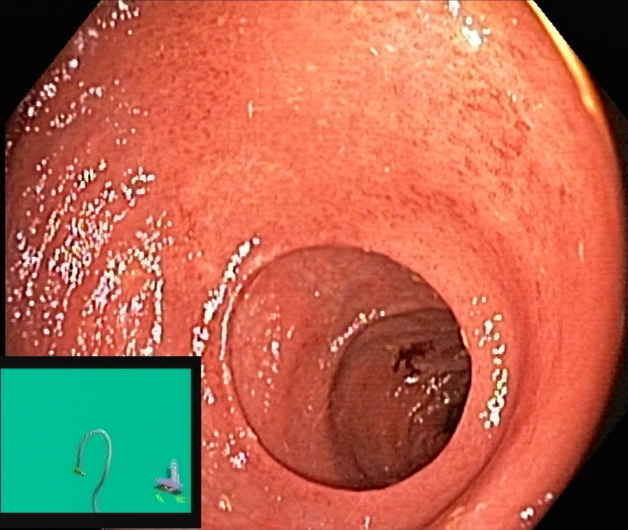Ulcerative colitis, Mayo endoscopic subscore 2.